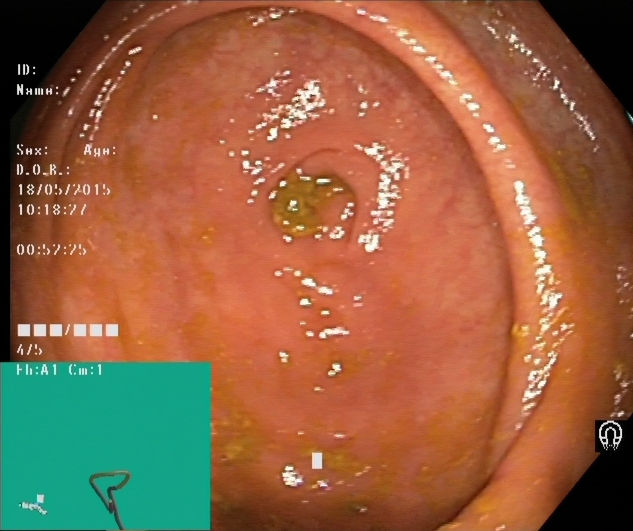PROCEDURE: Lower-GI endoscopy.
FINDINGS: Cecum.